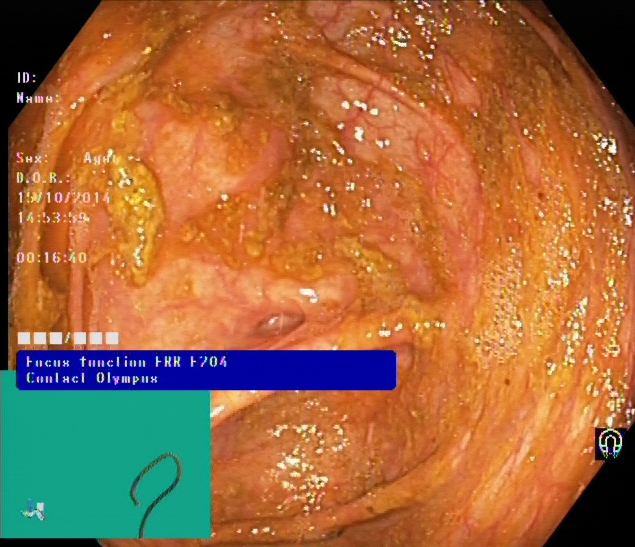This endoscopic image of the lower GI tract shows cecum.